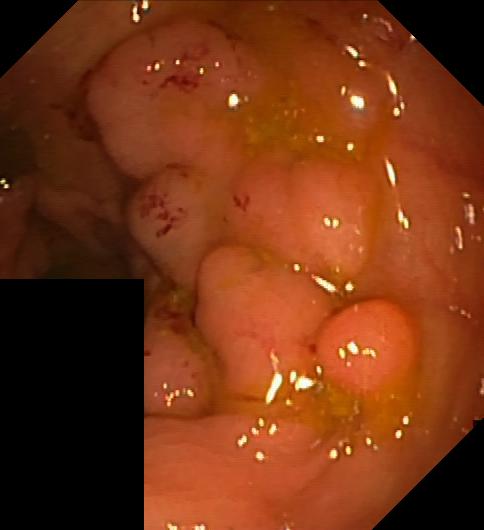PROCEDURE: Colonoscopy.
FINDINGS: Colorectal polyp(s).